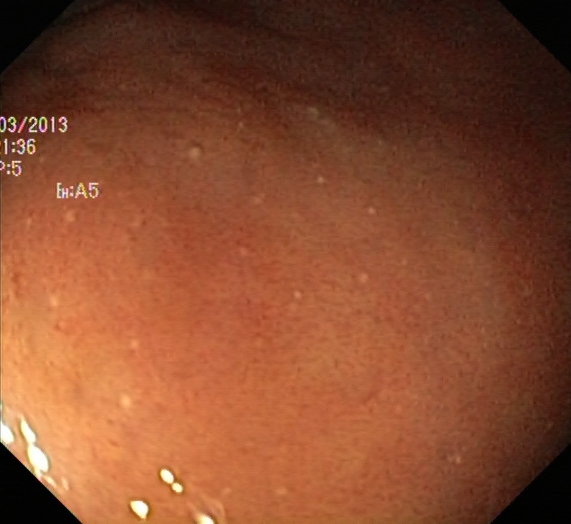Gastrointestinal endoscopy image showing ulcerative colitis, Mayo endoscopic subscore 2.